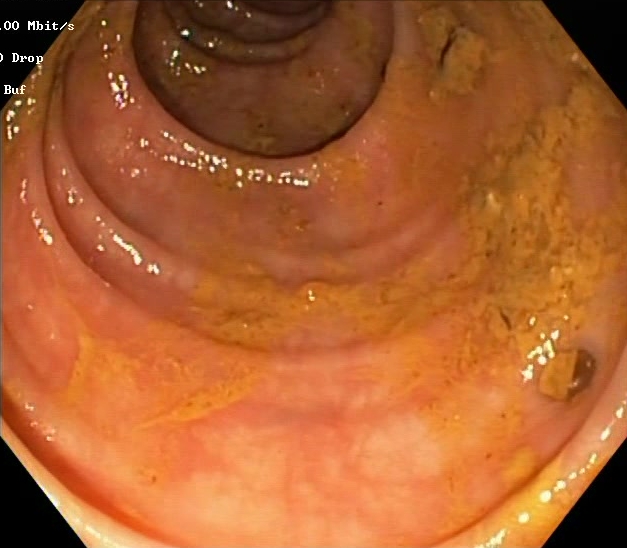modality: lower gastrointestinal endoscopy; finding: Boston Bowel Preparation Scale score 2–3 (adequate preparation)